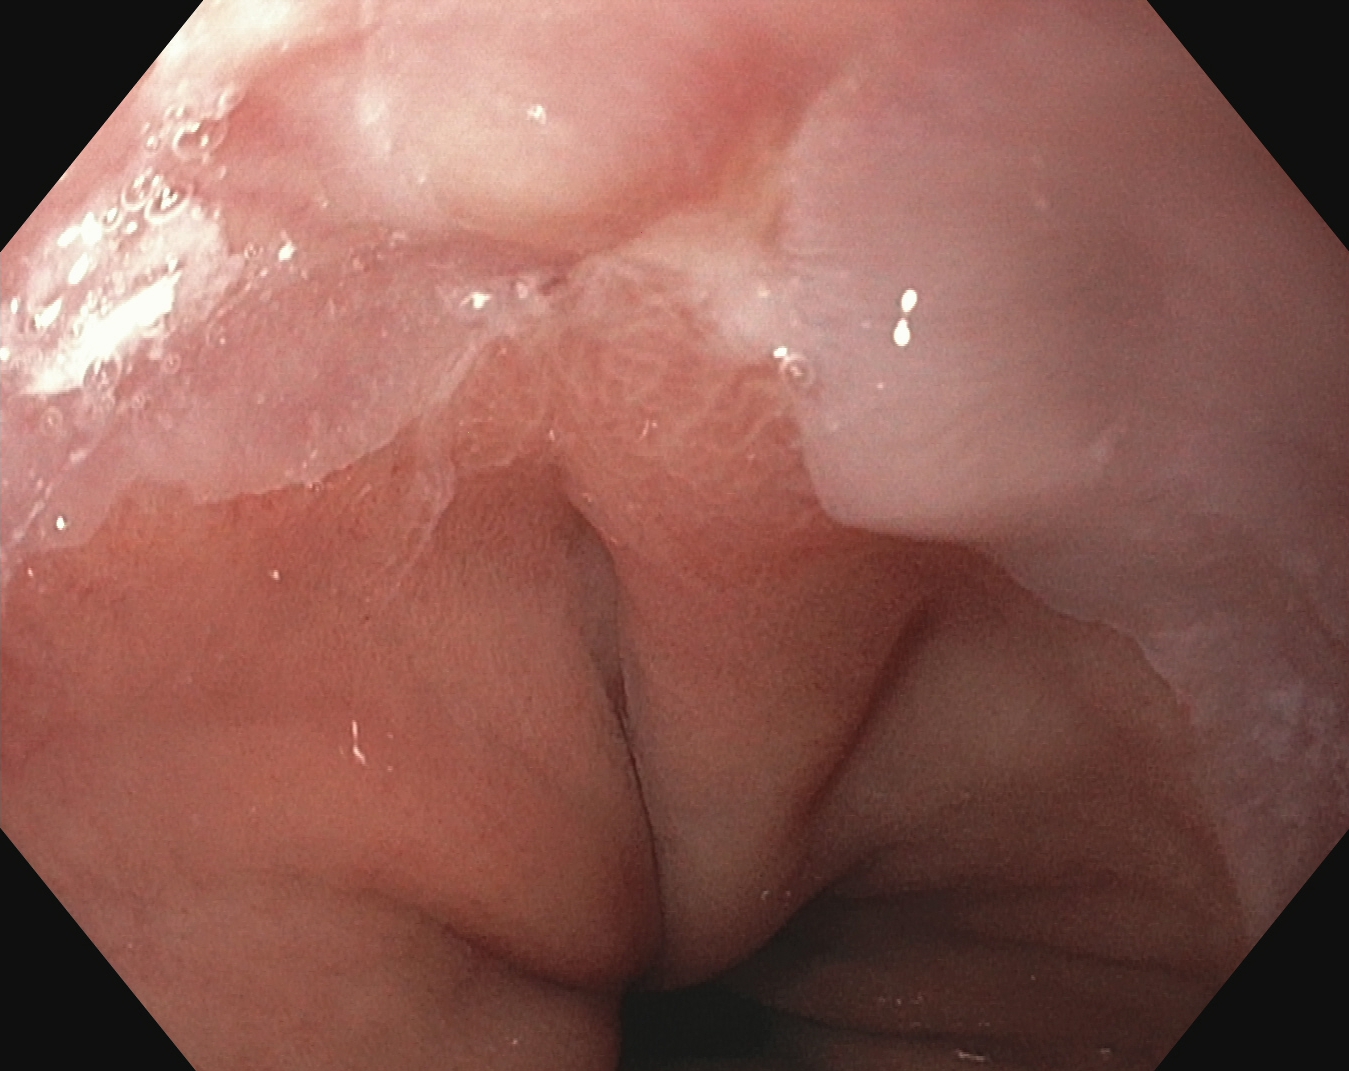Reflux esophagitis, Los Angeles grade A.